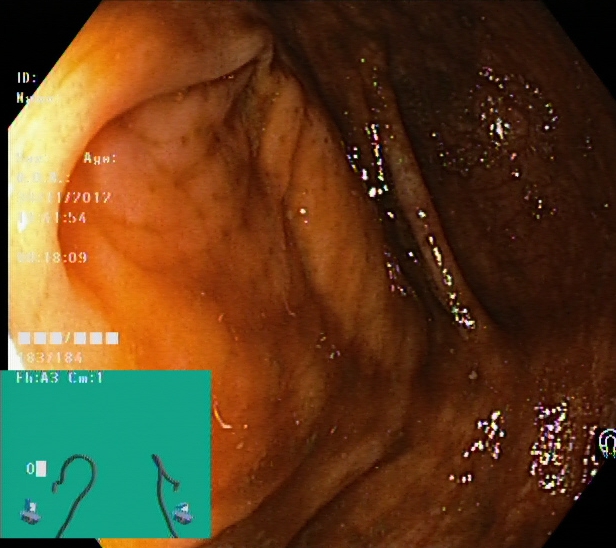PROCEDURE: Lower gastrointestinal endoscopy.
FINDINGS: Cecum.